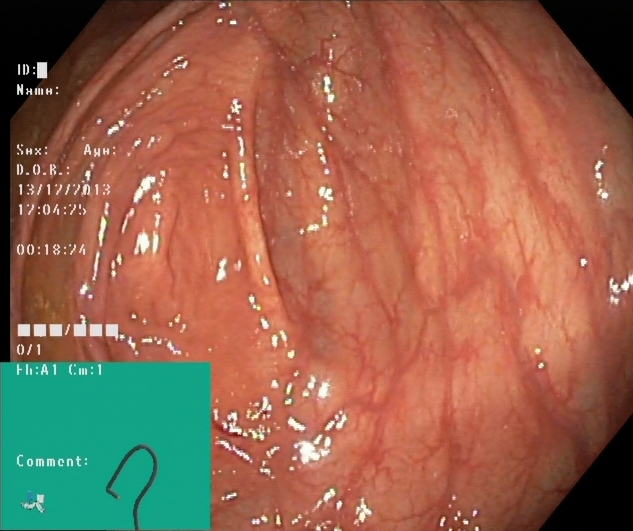PROCEDURE: Colonoscopy.
FINDINGS: Cecum.